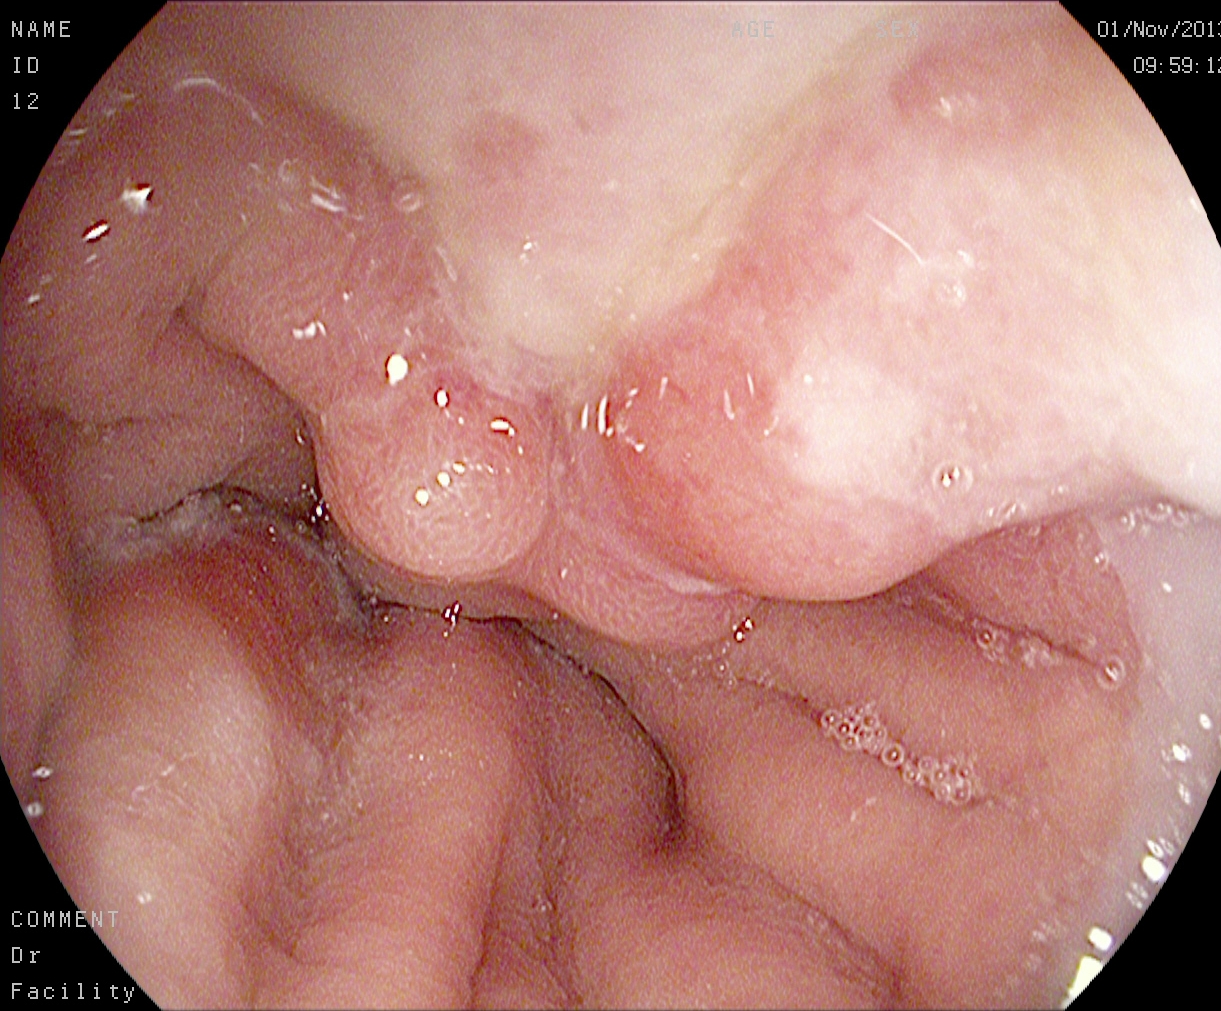This endoscopy frame shows reflux esophagitis, LA grade A.